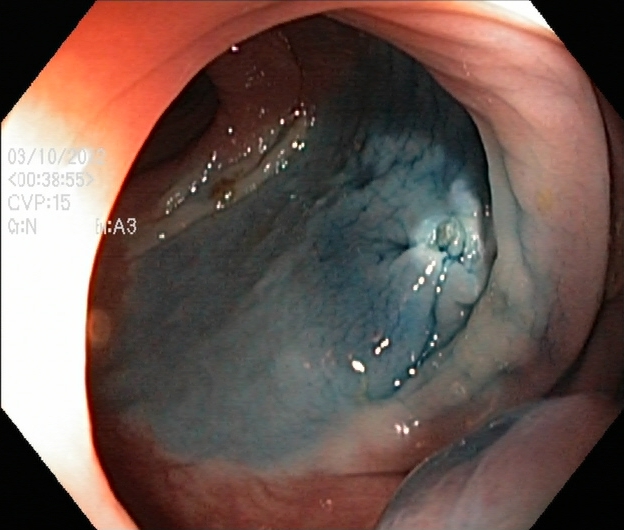{"modality": "lower gastrointestinal endoscopy", "tract": "lower GI tract", "category": "therapeutic intervention", "finding": "dyed resection margins (post-polypectomy)"}